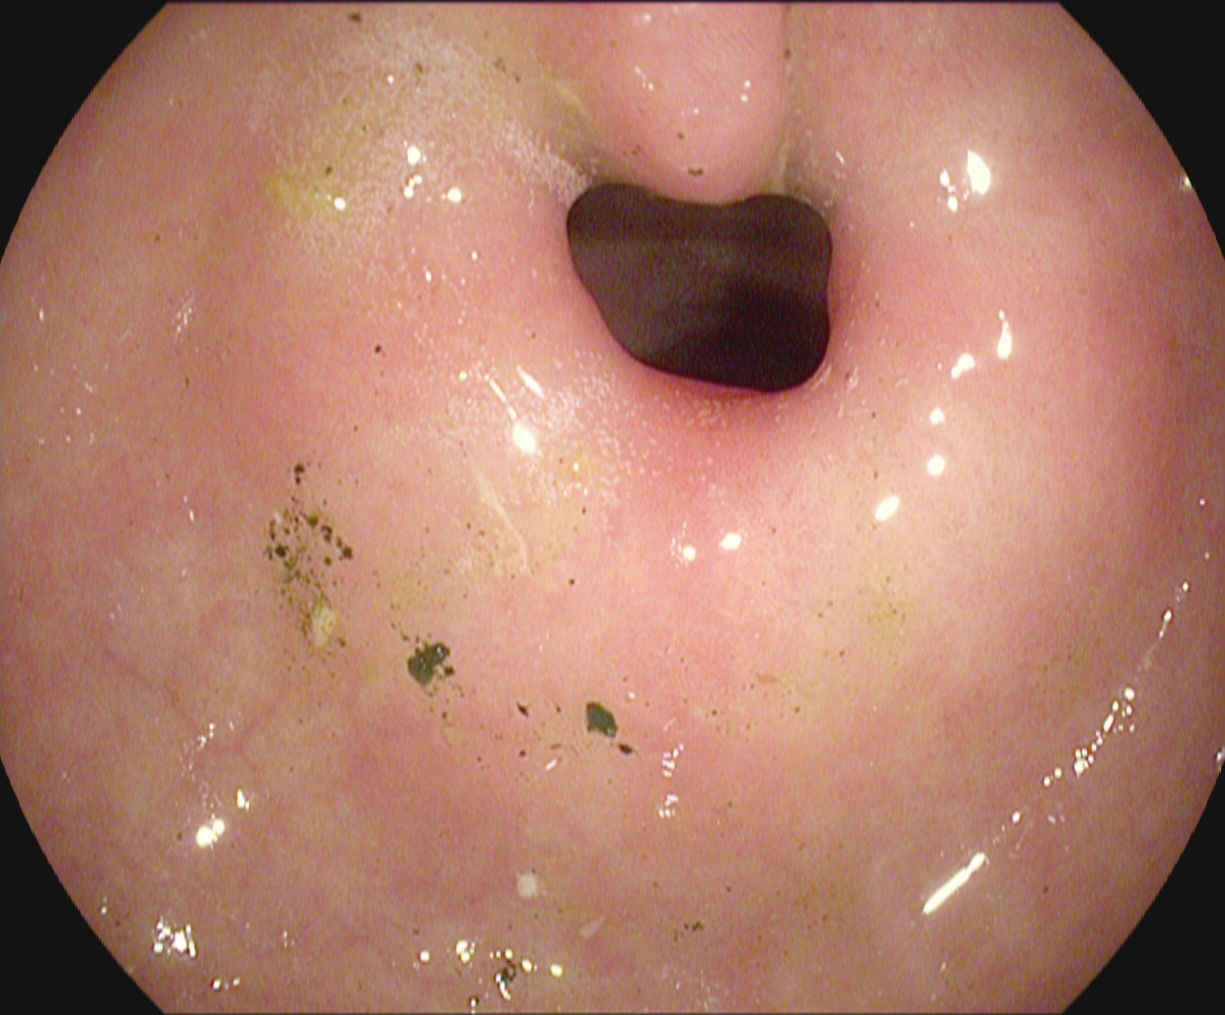PROCEDURE: EGD.
FINDINGS: Pylorus.